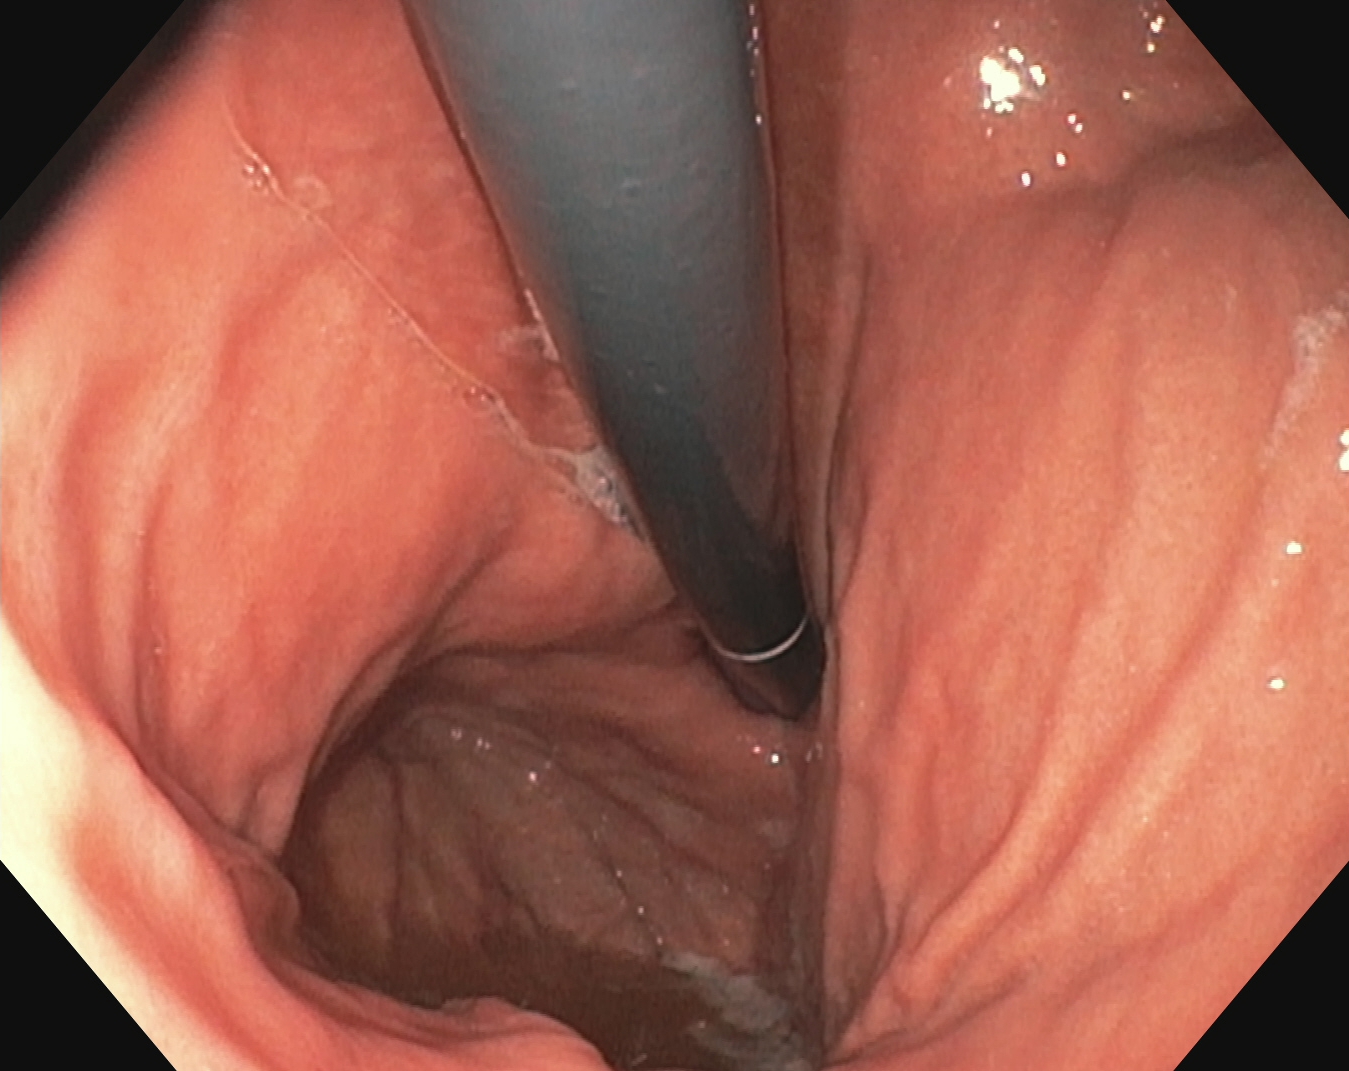{"modality": "EGD", "tract": "upper GI tract", "category": "anatomical landmark", "finding": "stomach in retroflexion"}